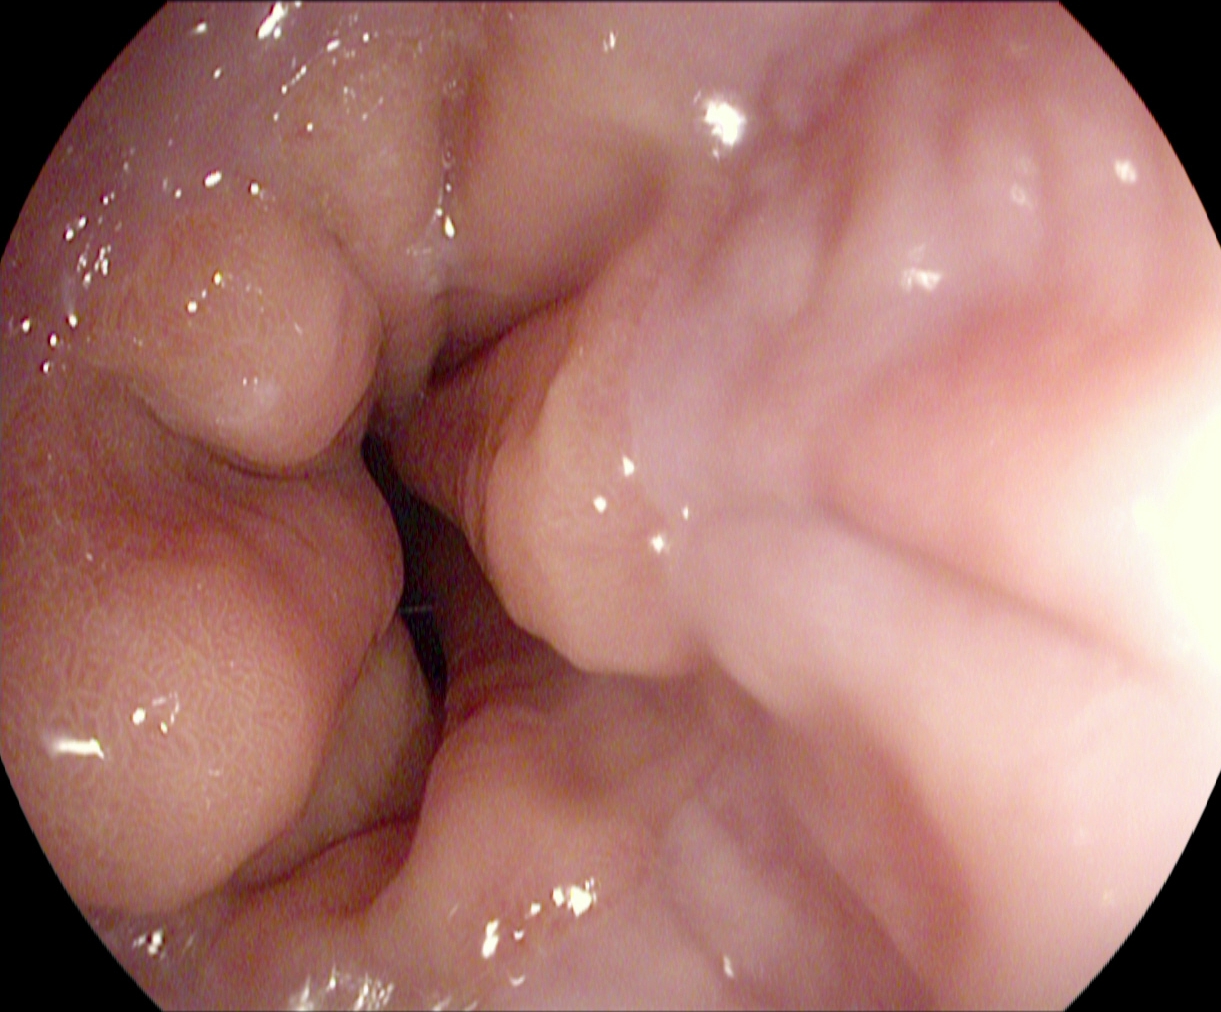This endoscopy frame shows Z-line (gastroesophageal junction).